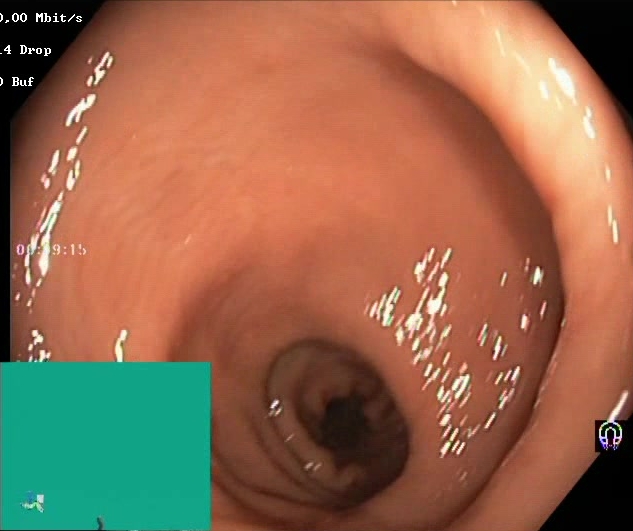modality: colonoscopy
tract: lower GI tract
finding: BBPS score 2–3 (adequate preparation)